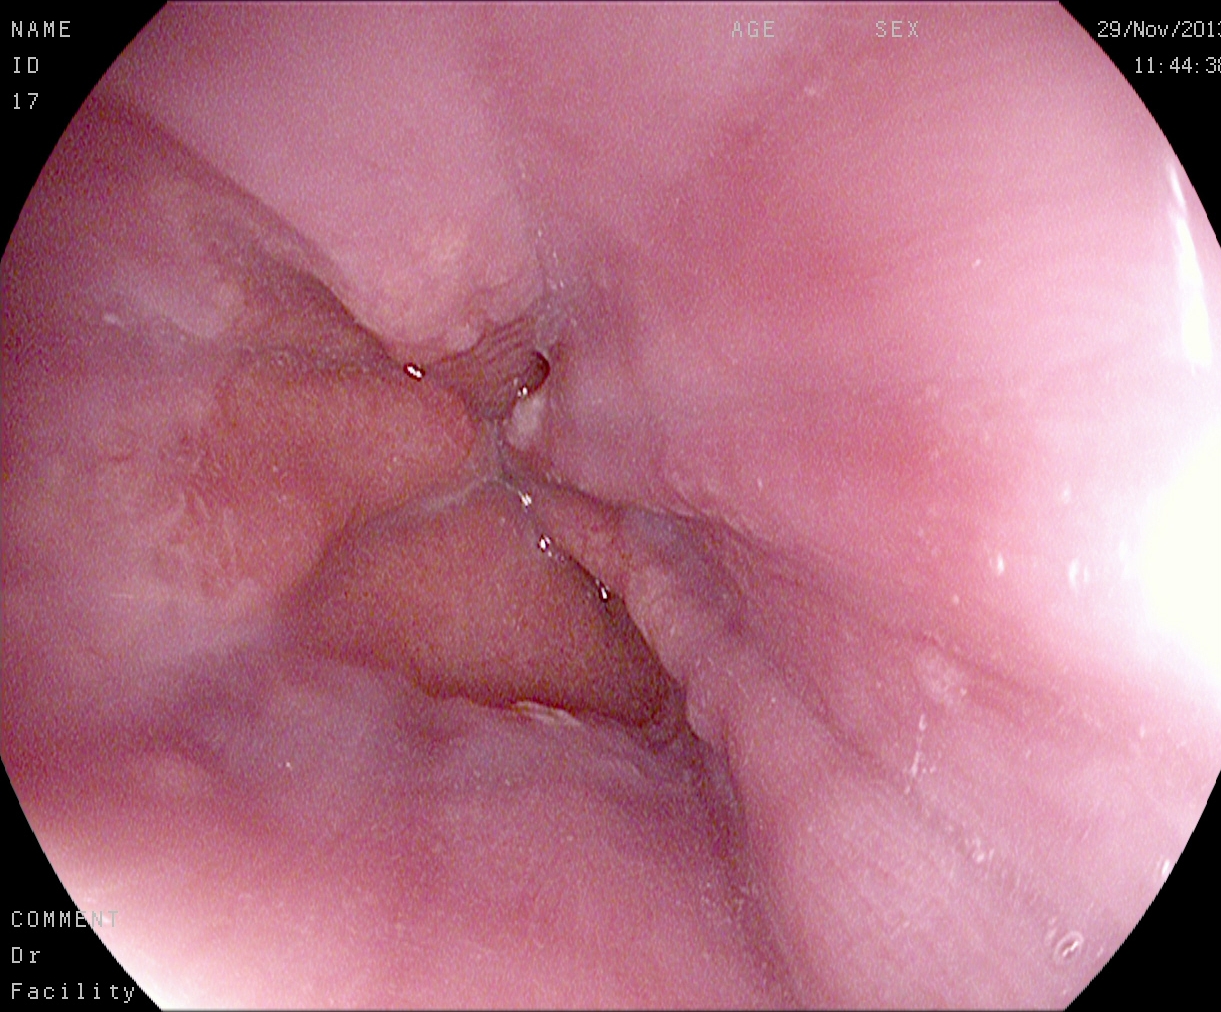Z-line (gastroesophageal junction).